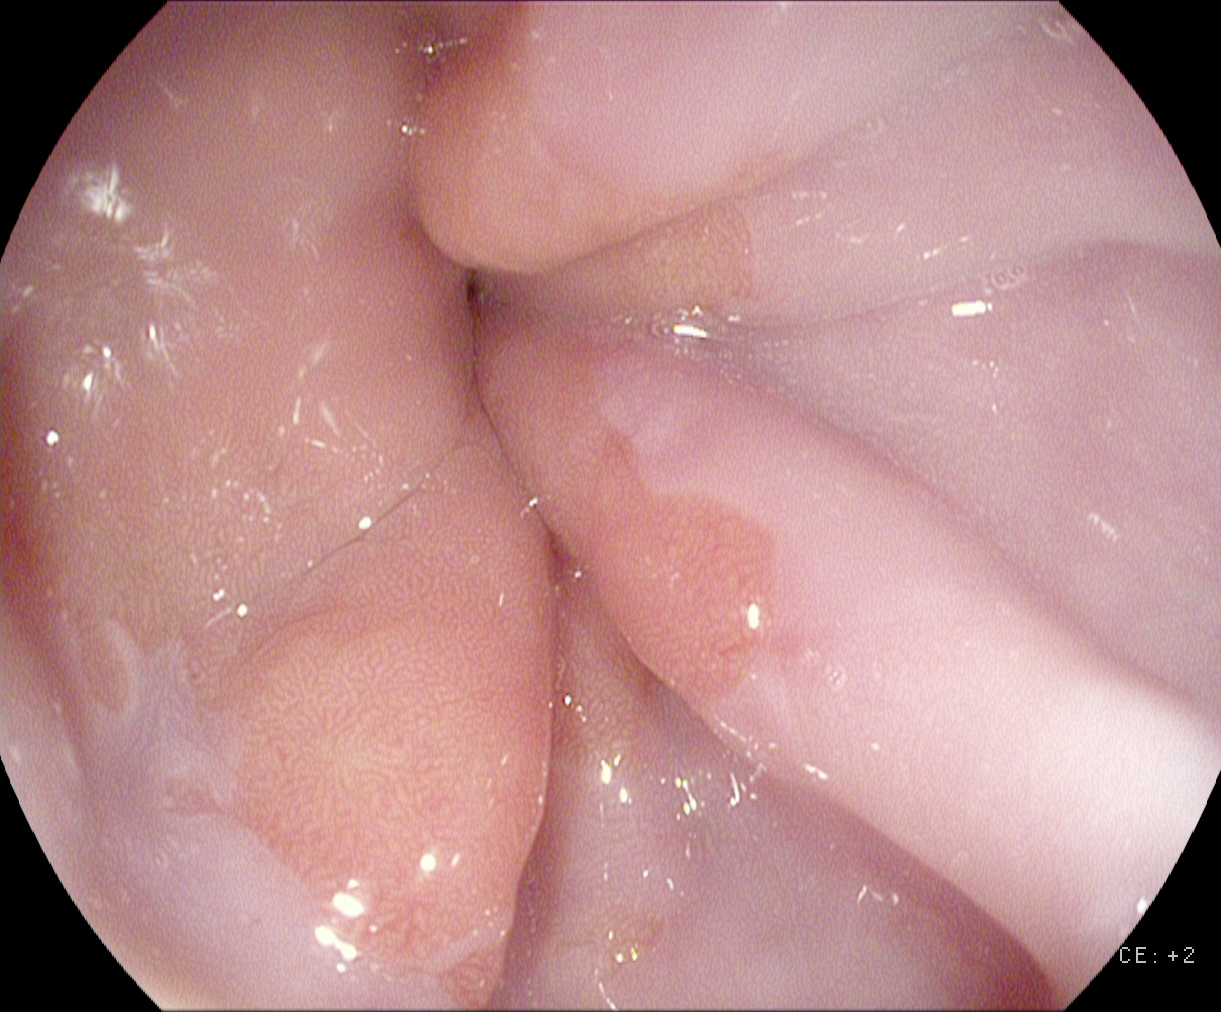{"modality": "upper-GI endoscopy", "category": "anatomical landmark", "finding": "Z-line (gastroesophageal junction)"}